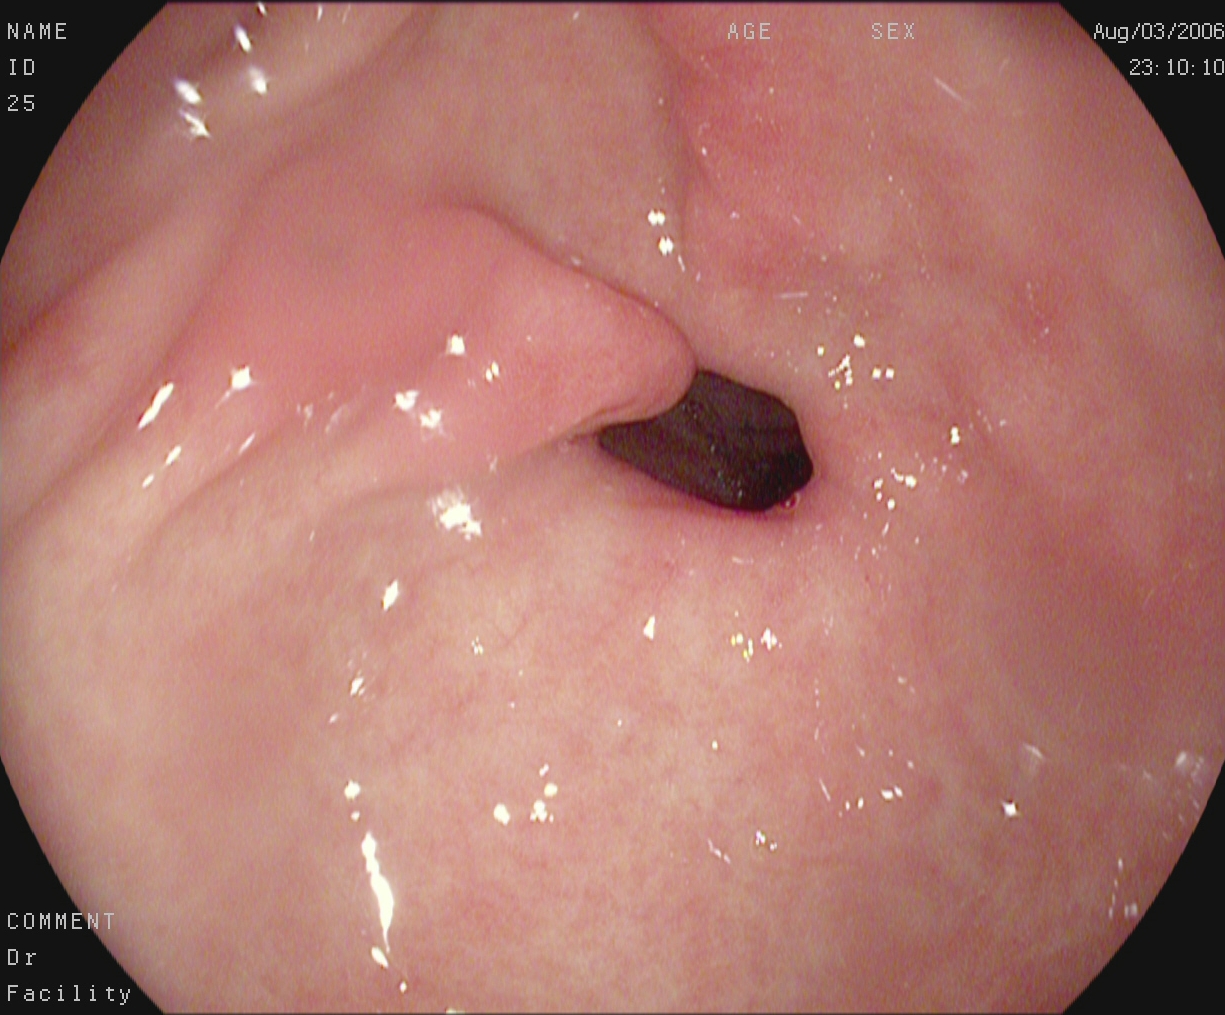This endoscopic image of the upper GI tract shows pylorus.